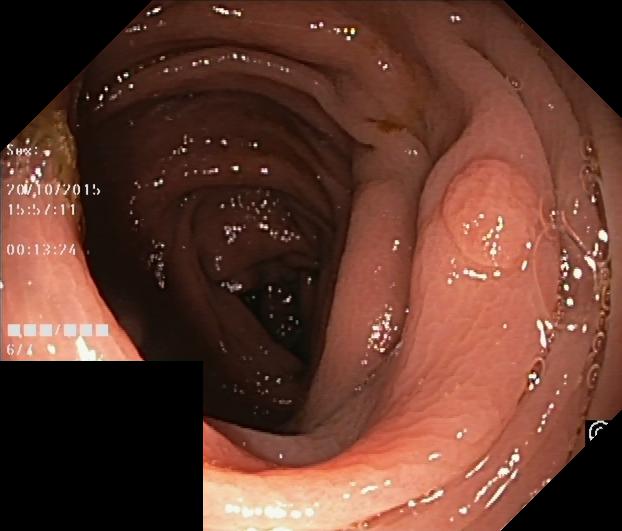Lower gastrointestinal endoscopy. Tract: lower GI tract. Finding: colorectal polyp(s).